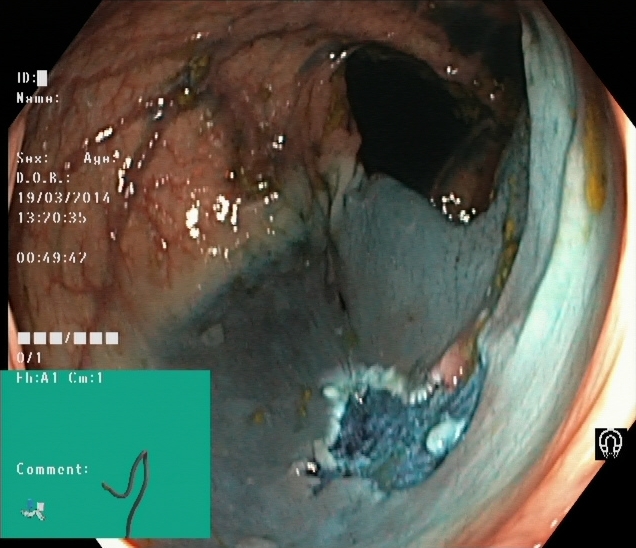{"modality": "lower-GI endoscopy", "finding": "dyed resection margins (post-polypectomy)"}